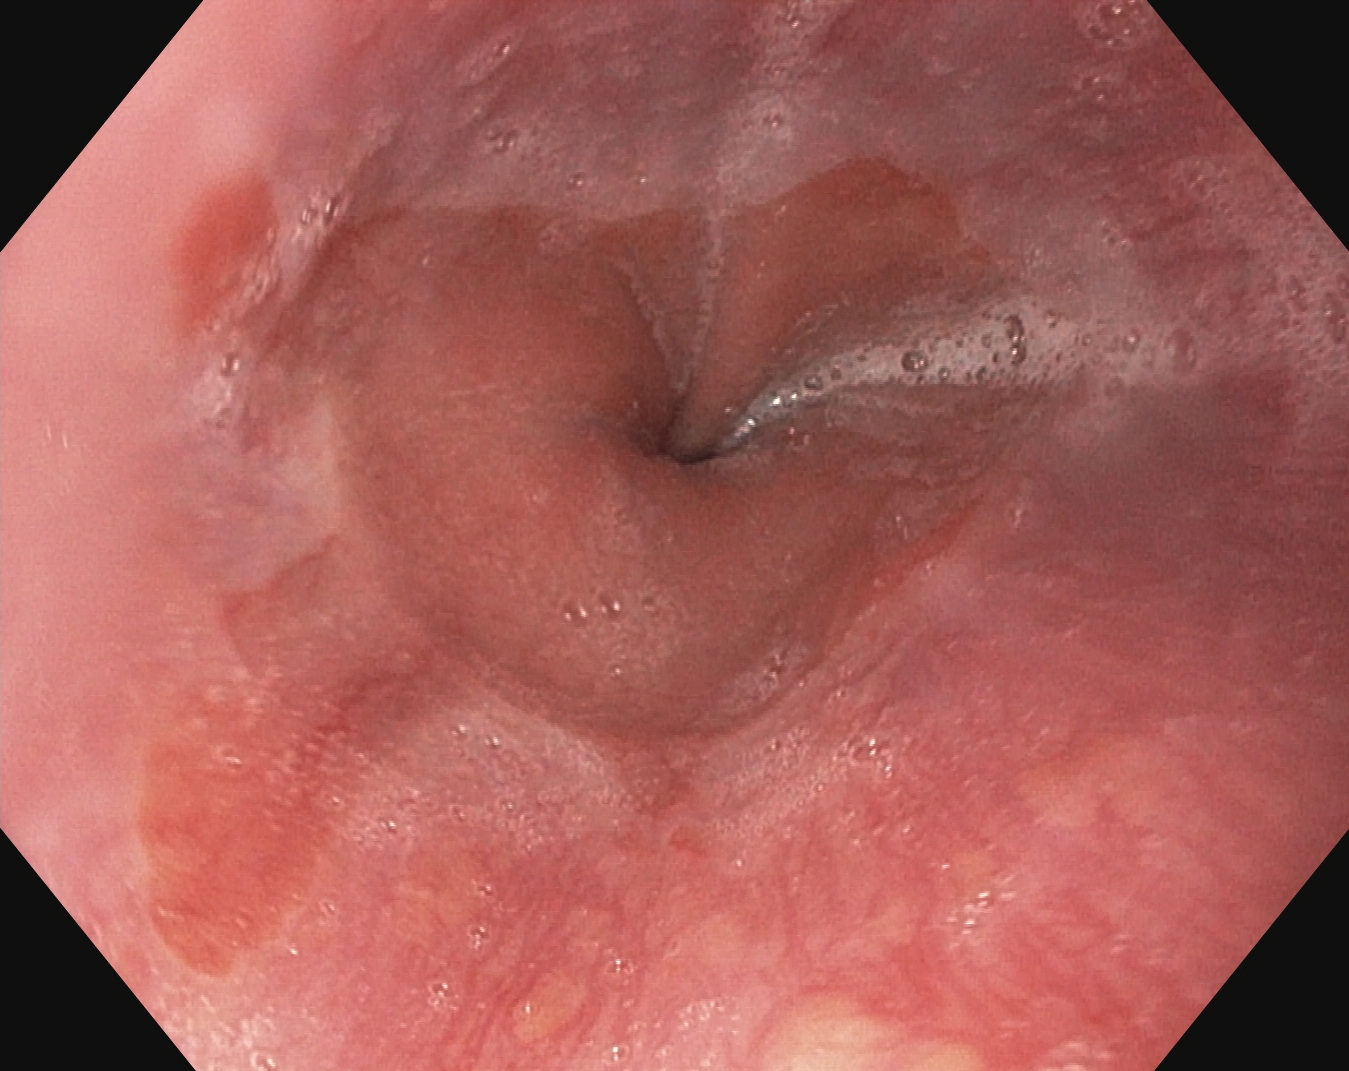PROCEDURE: Gastroscopy.
FINDINGS: Barrett's esophagus, short segment.